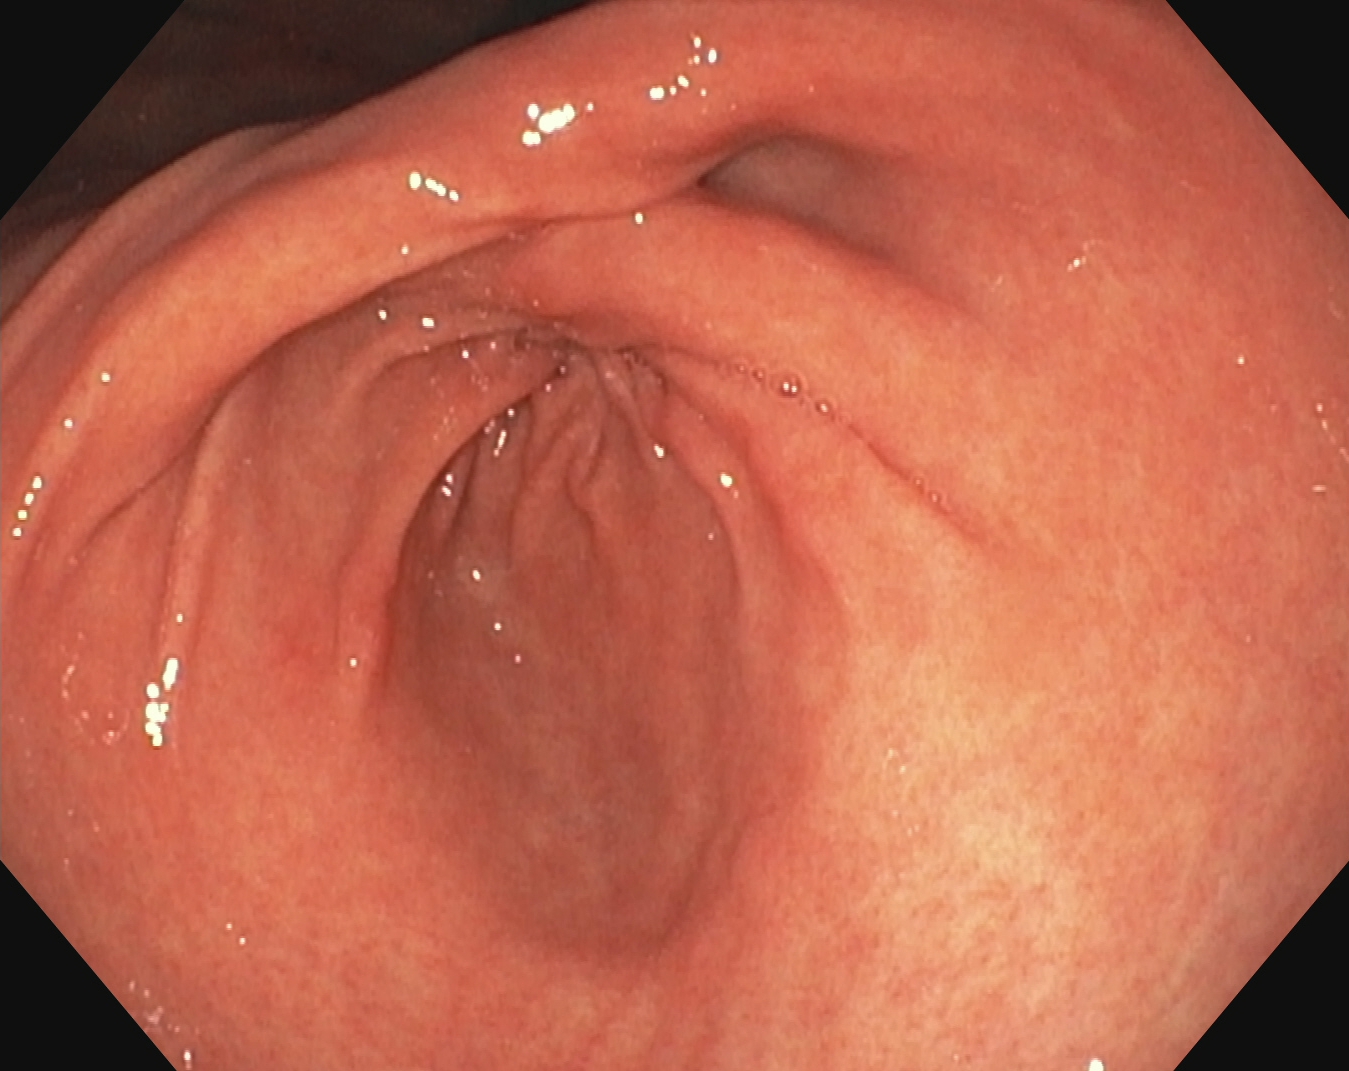This endoscopic image of the upper GI tract shows pylorus.